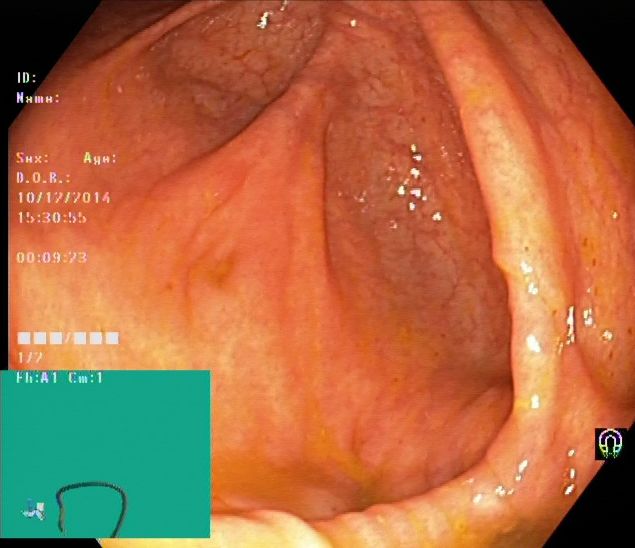PROCEDURE: Colonoscopy.
FINDINGS: Cecum.